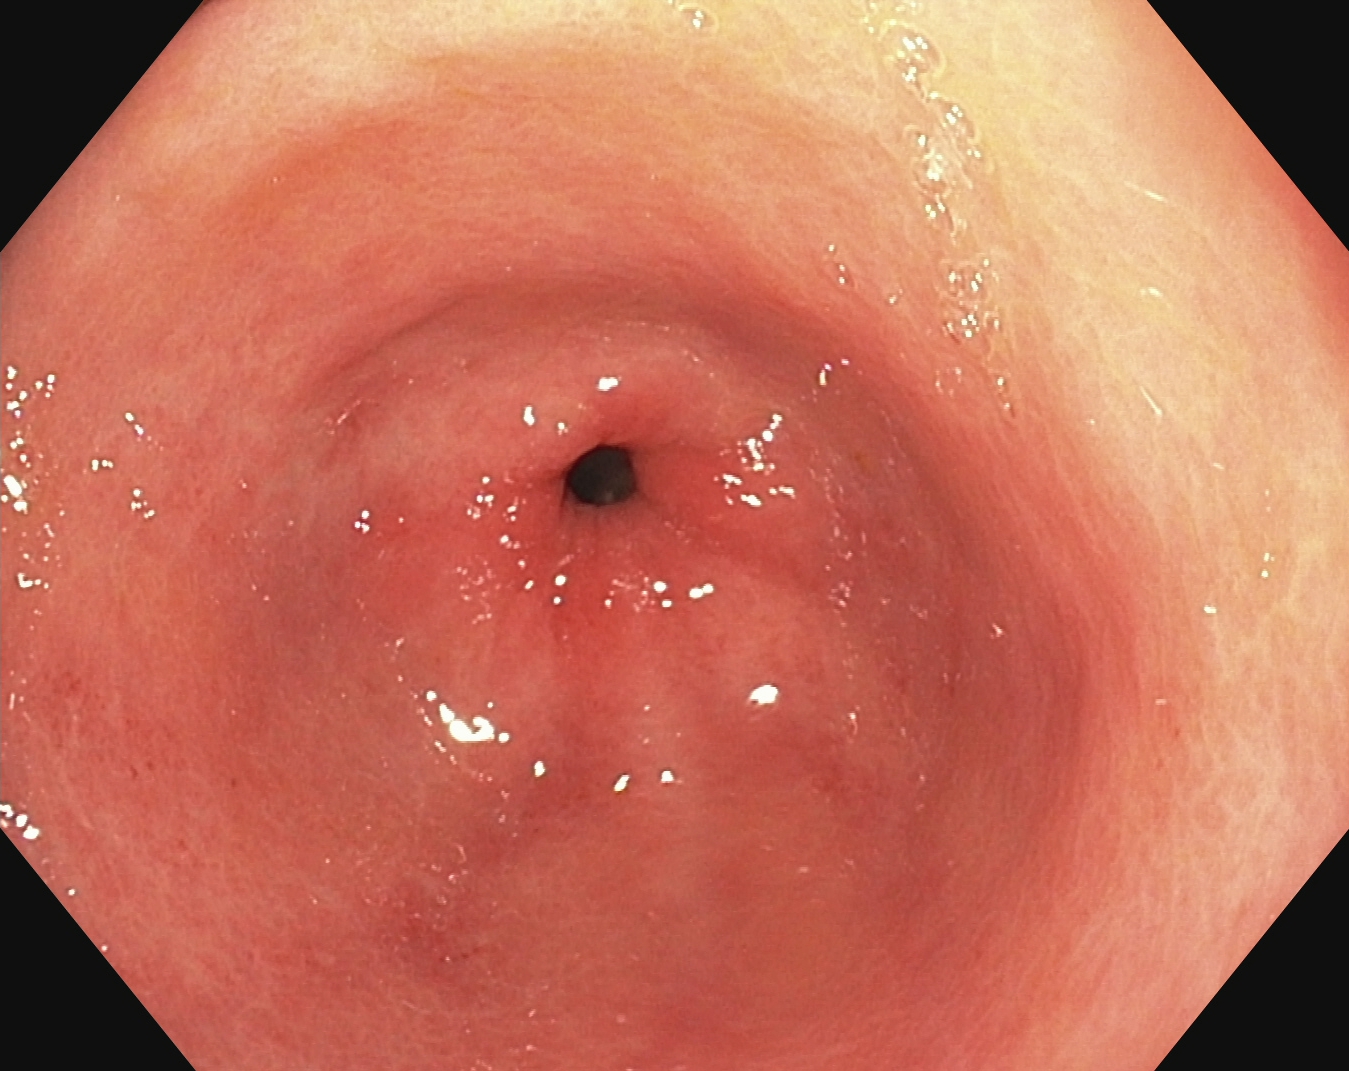{"modality": "upper-GI endoscopy", "finding": "pylorus"}